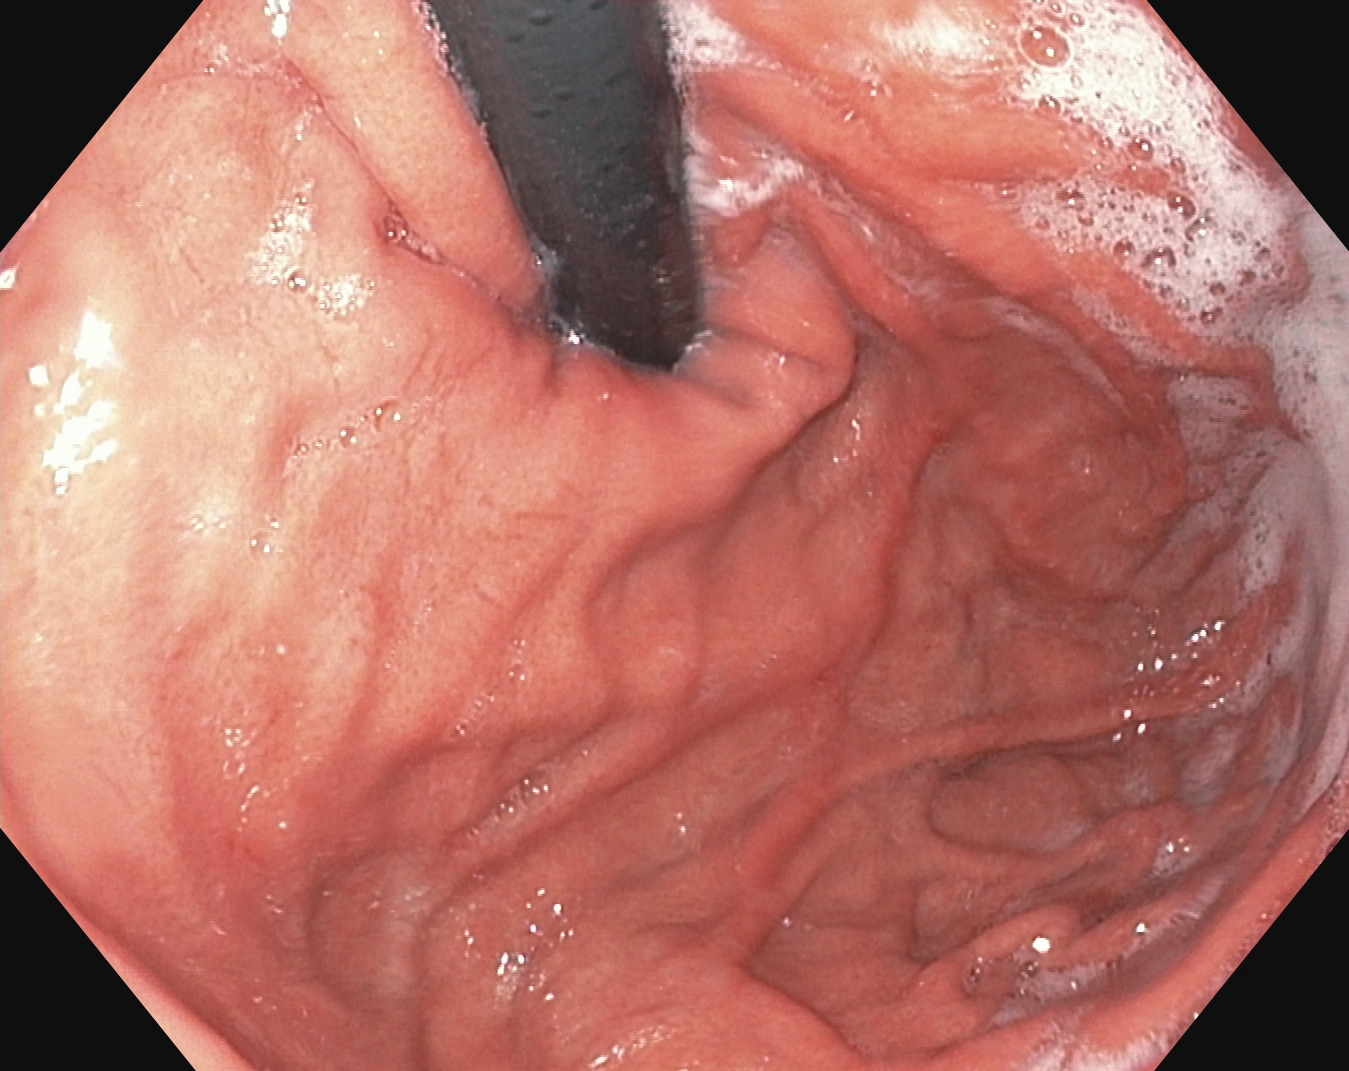EGD. Tract: upper GI tract. Anatomical landmark. Finding: stomach in retroflexion.